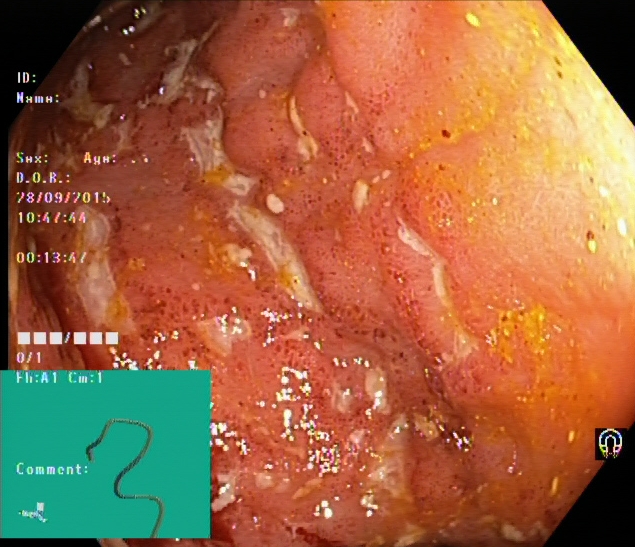This endoscopy frame shows ulcerative colitis, Mayo endoscopic subscore 2.